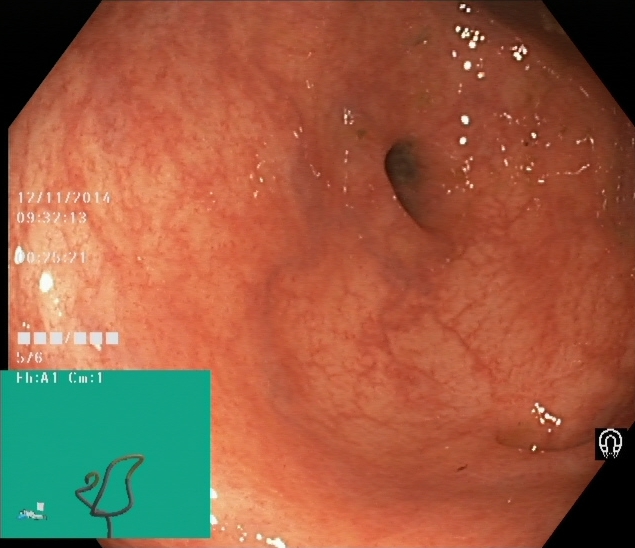This endoscopic image shows cecum.